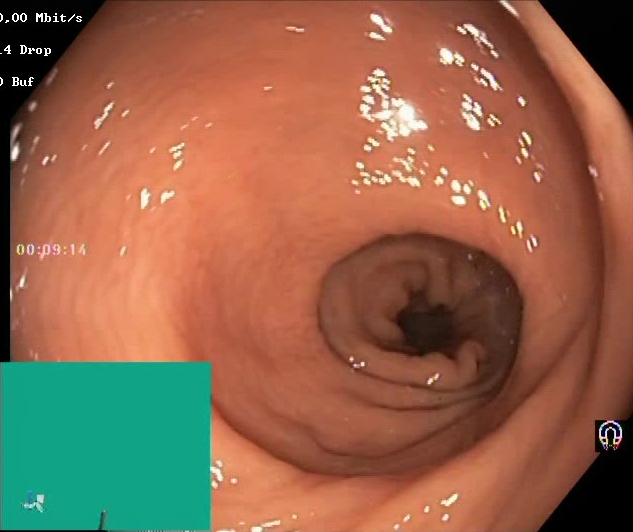Lower gastrointestinal endoscopy. Tract: lower GI tract. Finding: BBPS score 2–3 (adequate preparation).